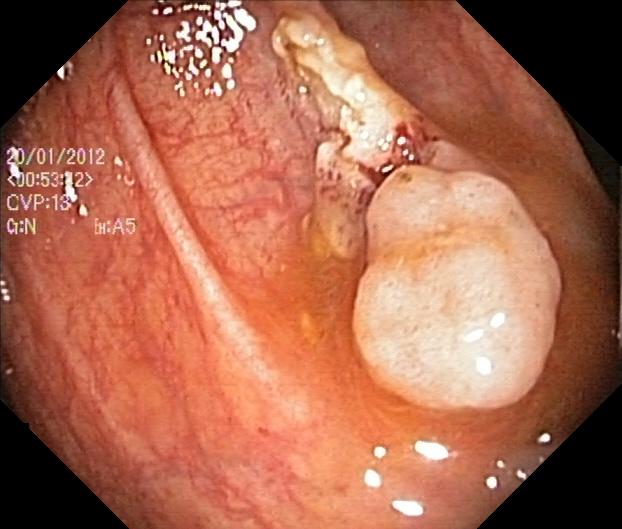PROCEDURE: Colonoscopy.
FINDINGS: Colorectal polyp(s).